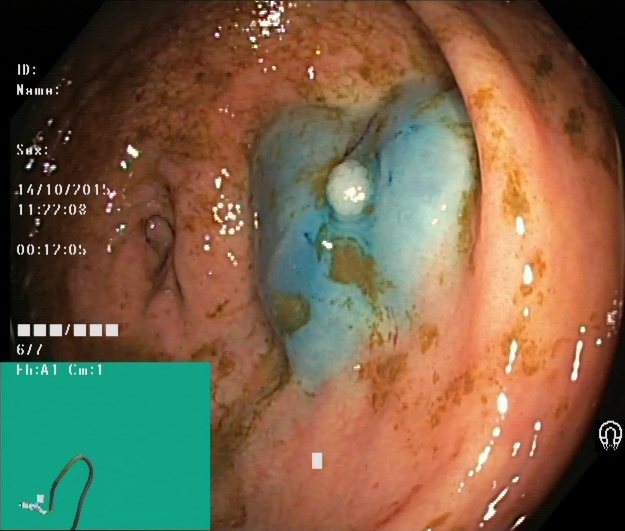This endoscopy frame of the lower GI tract shows dyed and lifted polyp (pre-resection).